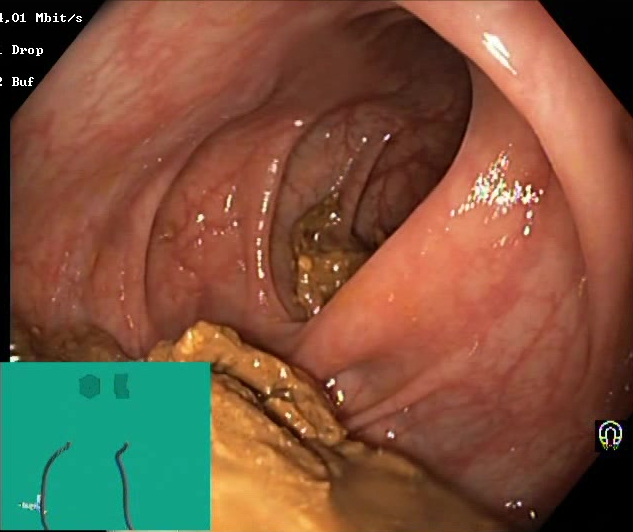PROCEDURE: Lower-GI endoscopy.
CATEGORY: Mucosal-view quality.
FINDINGS: BBPS score 0–1 (inadequate preparation).